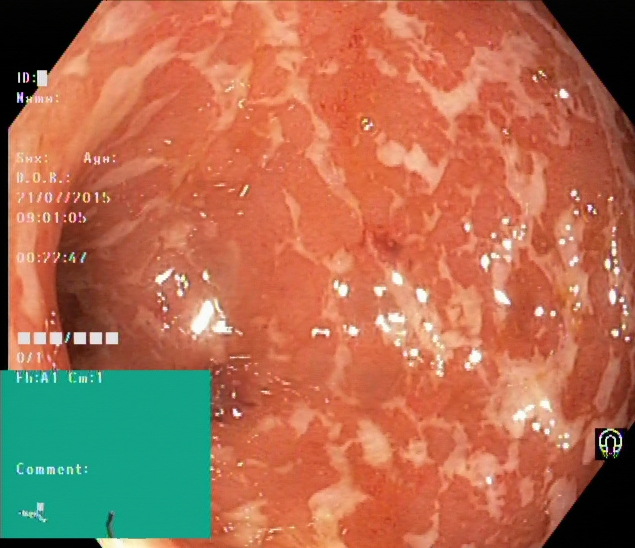This endoscopy frame shows ulcerative colitis, Mayo endoscopic subscore 2.